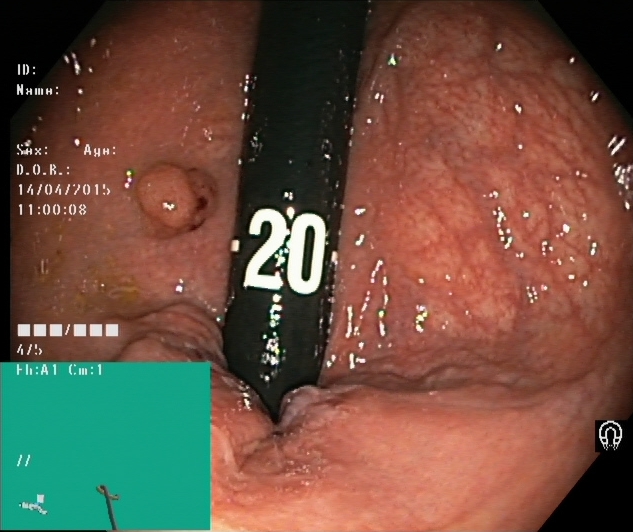Endoscopic frame of the lower GI tract showing colorectal polyp(s).